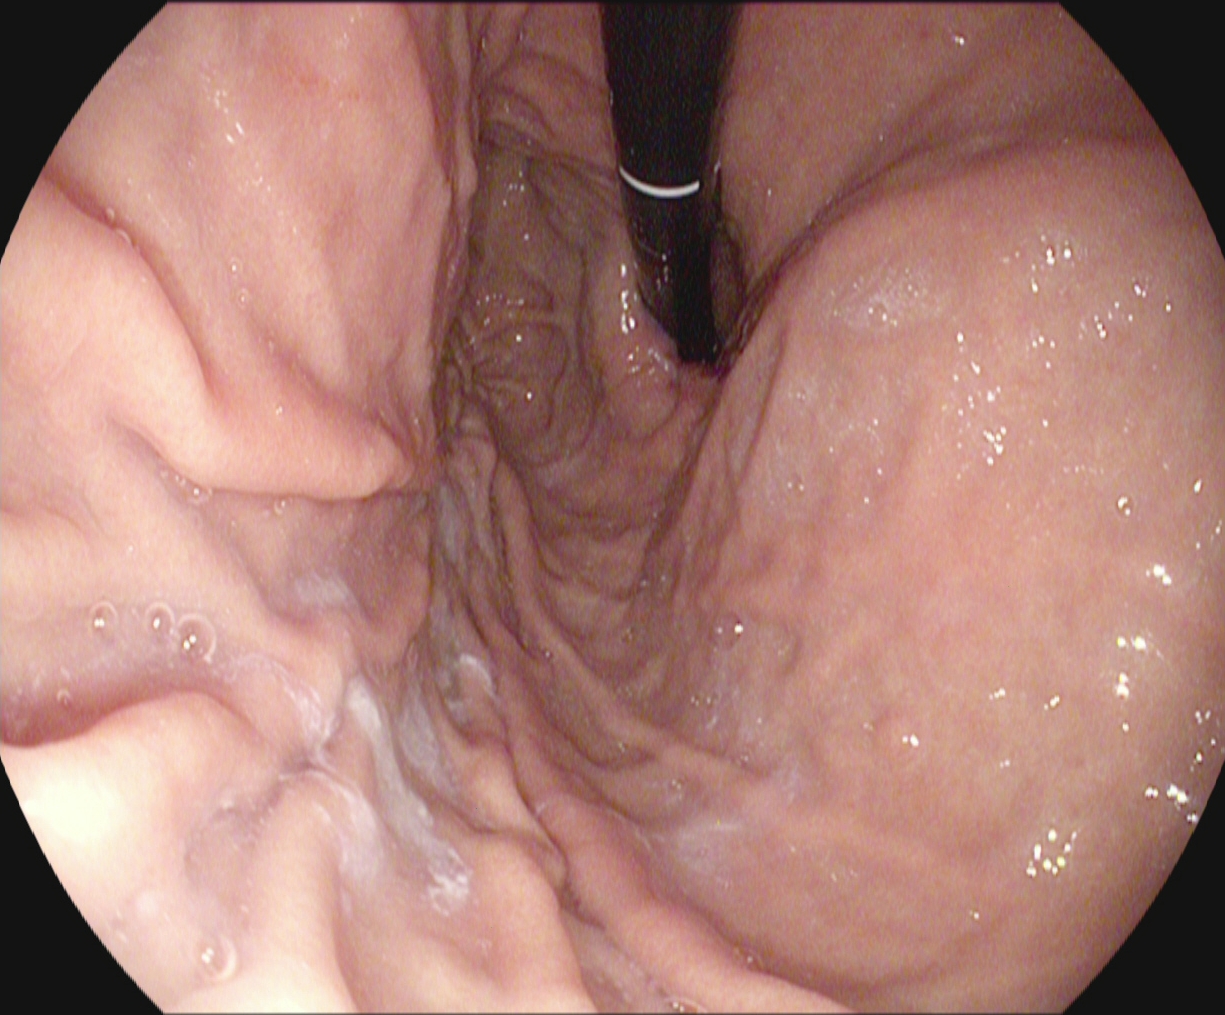This endoscopic image shows stomach in retroflexion.